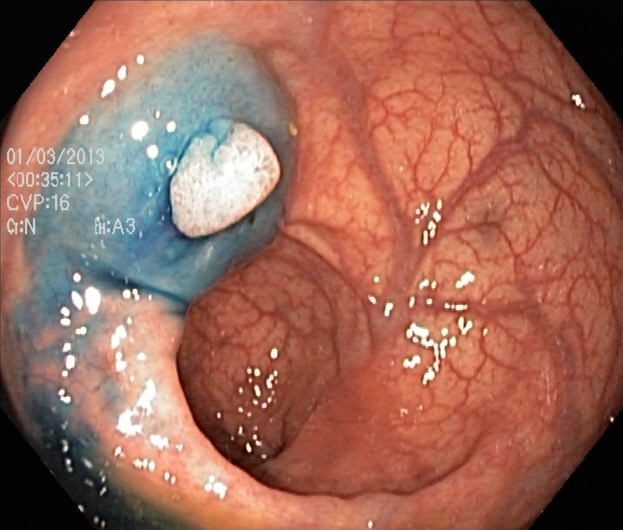{"modality": "colonoscopy", "finding": "dyed and lifted polyp (pre-resection)"}